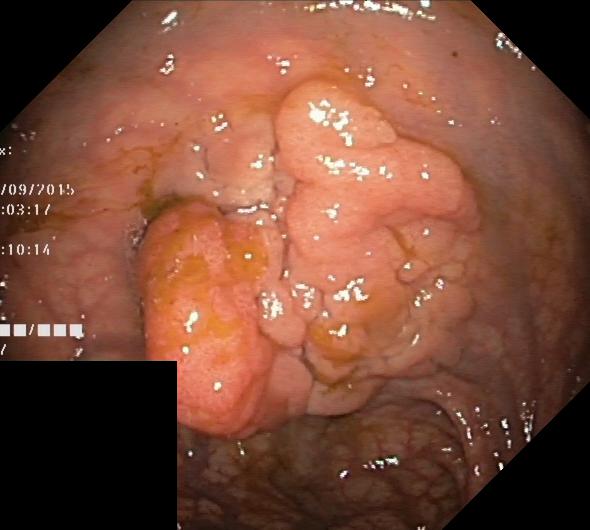Colorectal polyp(s).